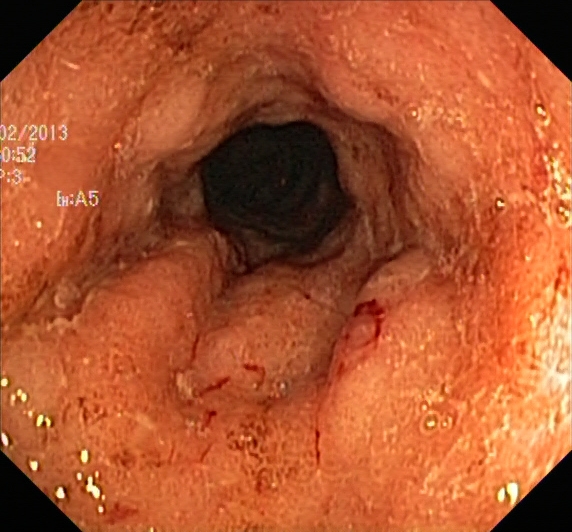{"modality": "lower-GI endoscopy", "tract": "lower GI tract", "category": "pathological finding", "finding": "ulcerative colitis, Mayo endoscopic subscore 2"}